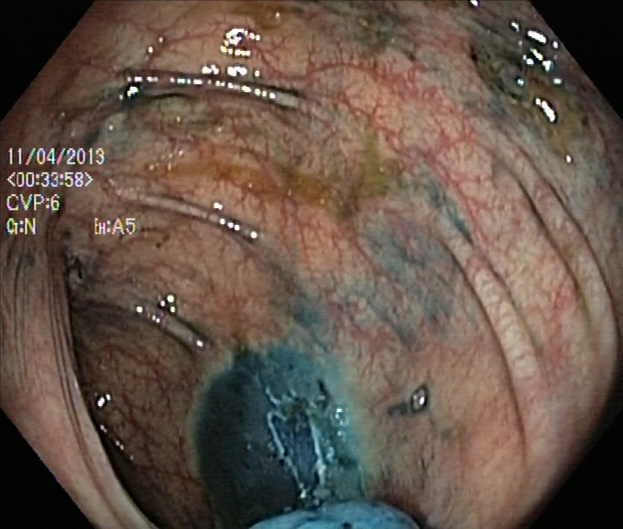Endoscopic frame showing dyed resection margins (post-polypectomy).